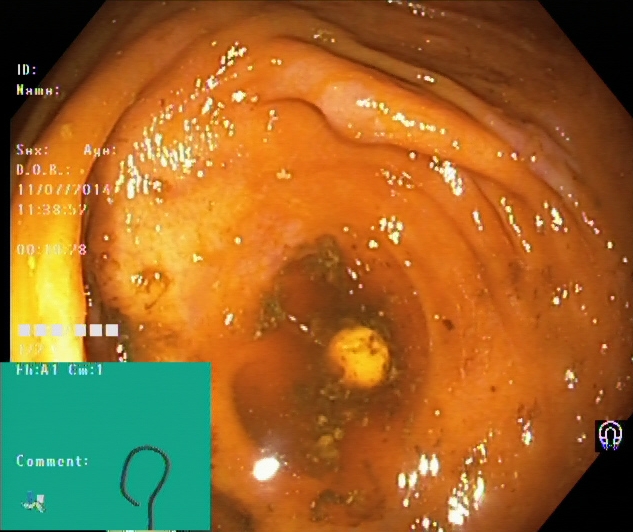This endoscopic image of the lower GI tract shows cecum.